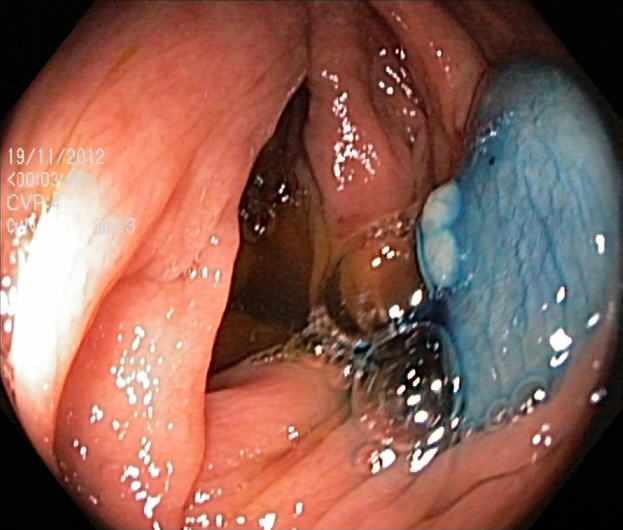This endoscopic image shows dyed and lifted polyp (pre-resection).